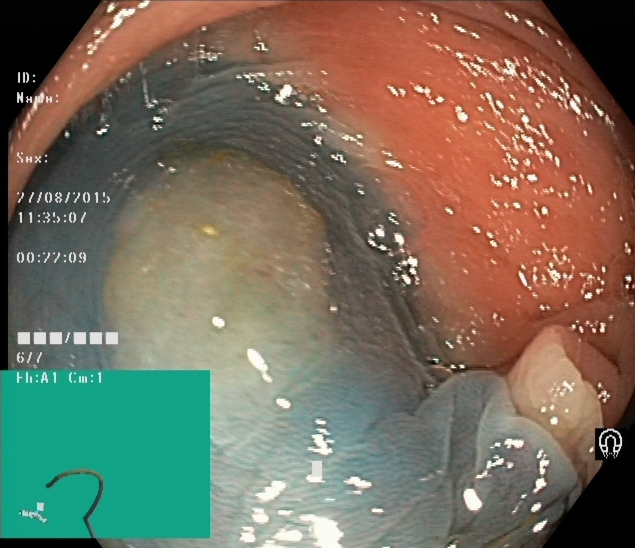Dyed and lifted polyp (pre-resection).